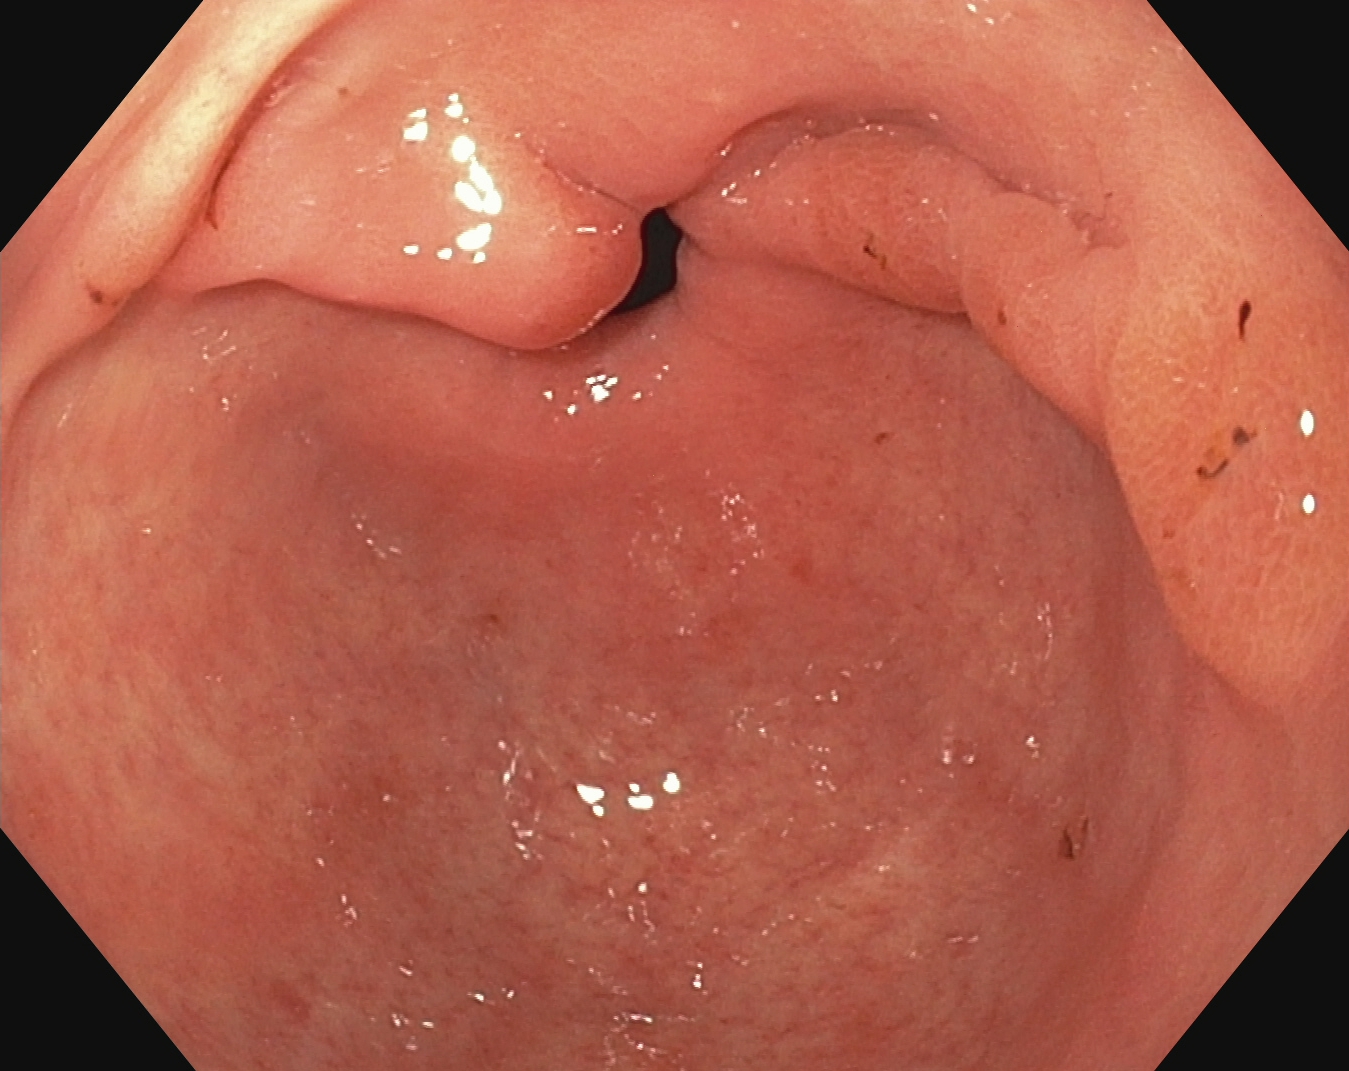Upper-GI endoscopy — pylorus.